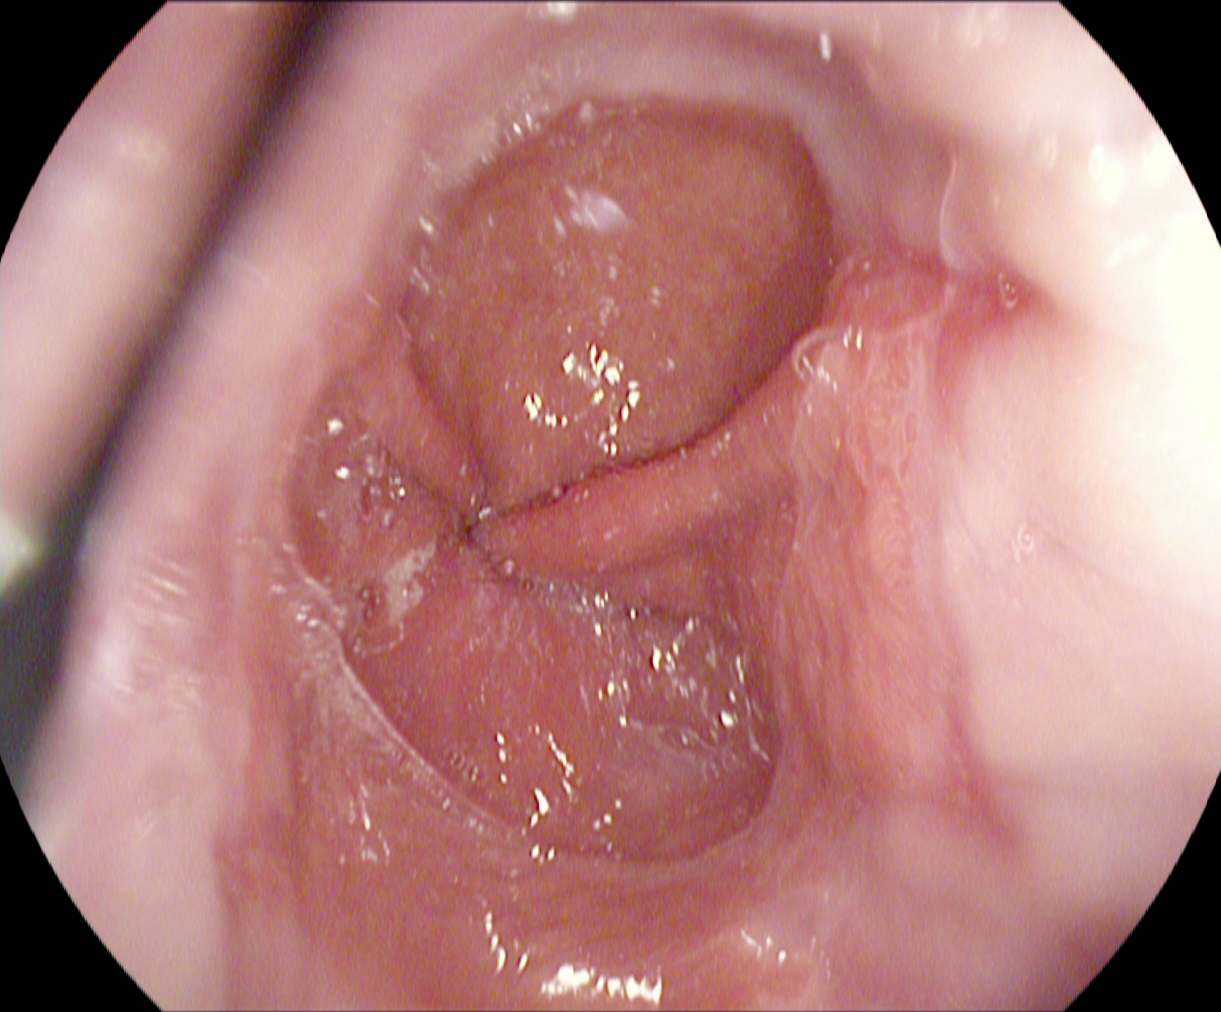modality: upper-GI endoscopy; tract: upper GI tract; category: pathological finding; finding: reflux esophagitis, LA grade A